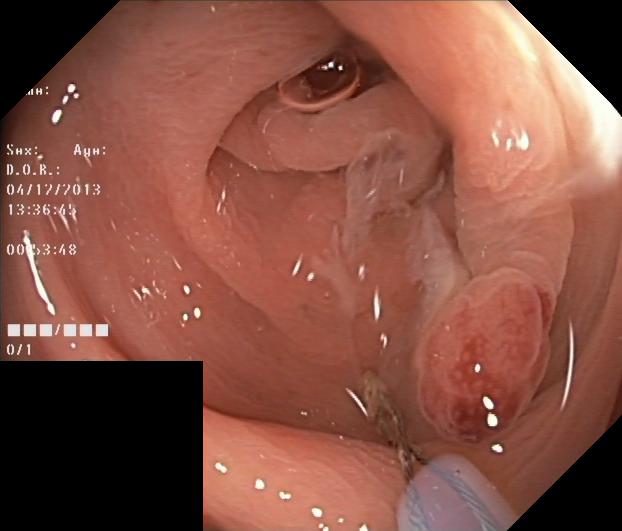Colorectal polyp(s).